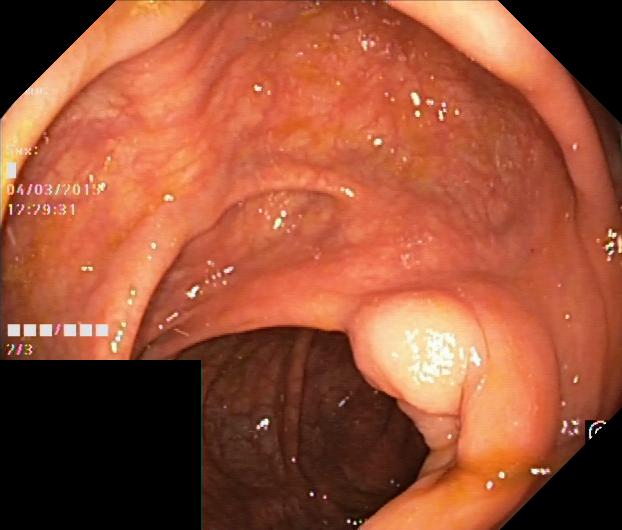This endoscopic image of the lower GI tract shows colorectal polyp(s).